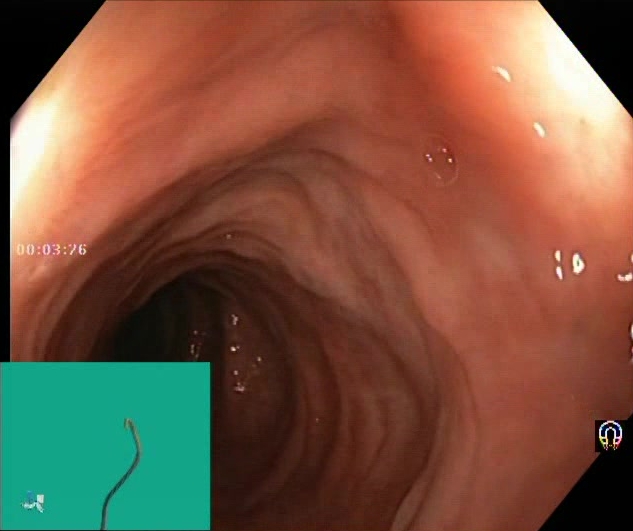{"modality": "lower-GI endoscopy", "finding": "Boston Bowel Preparation Scale score 2\u20133 (adequate preparation)"}